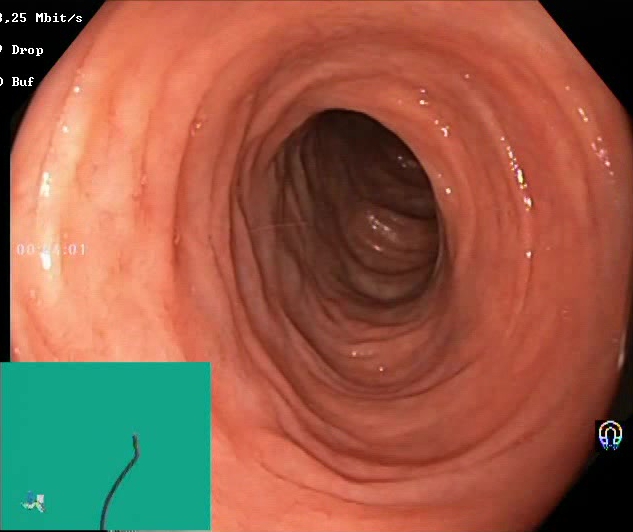modality: lower gastrointestinal endoscopy | tract: lower GI tract | category: mucosal-view quality | finding: BBPS score 2–3 (adequate preparation)